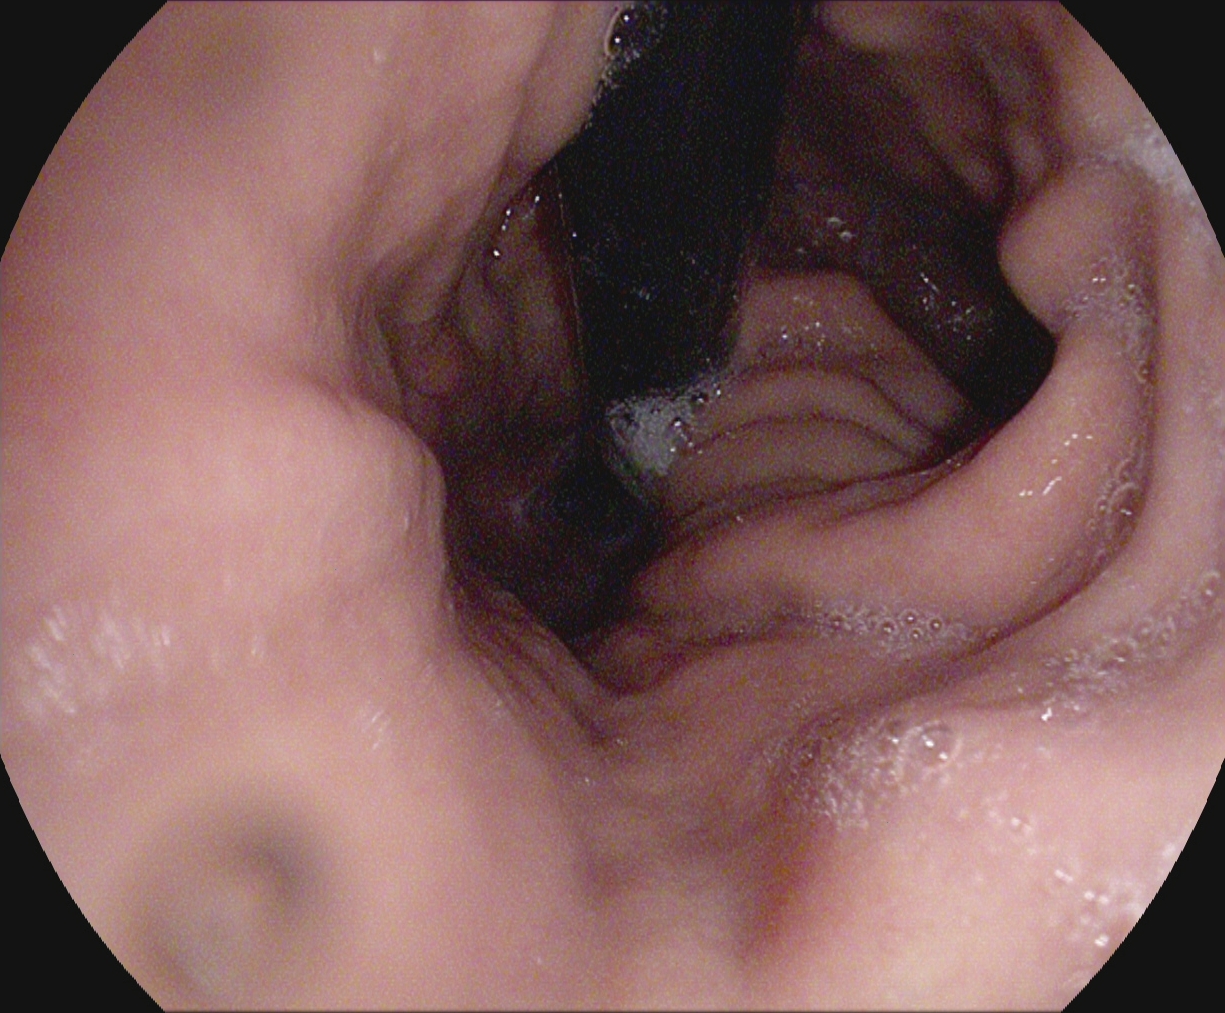EGD. Tract: upper GI tract. Anatomical landmark. Finding: stomach in retroflexion.